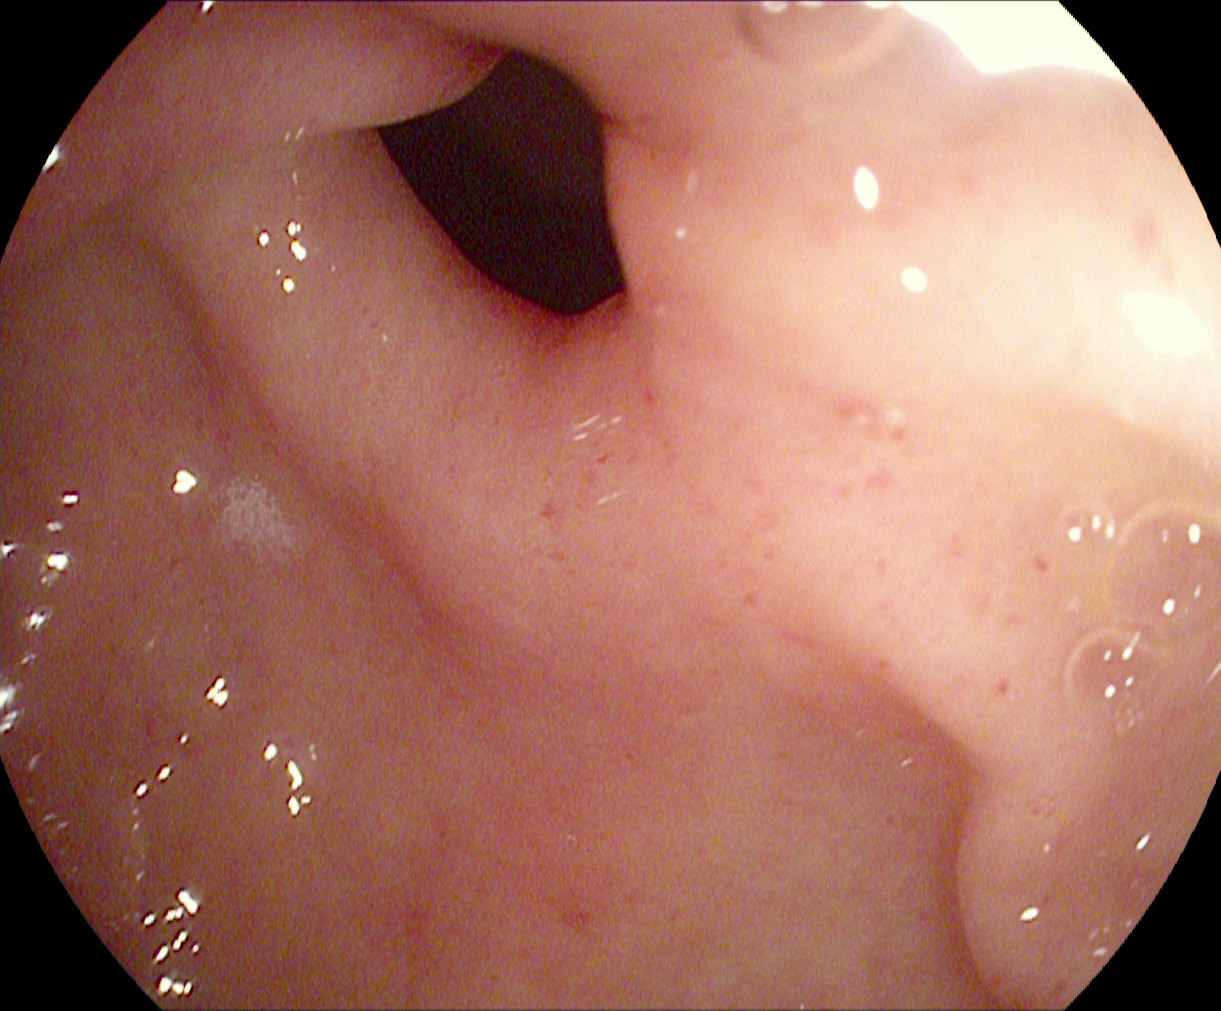This endoscopy frame of the upper GI tract shows pylorus.